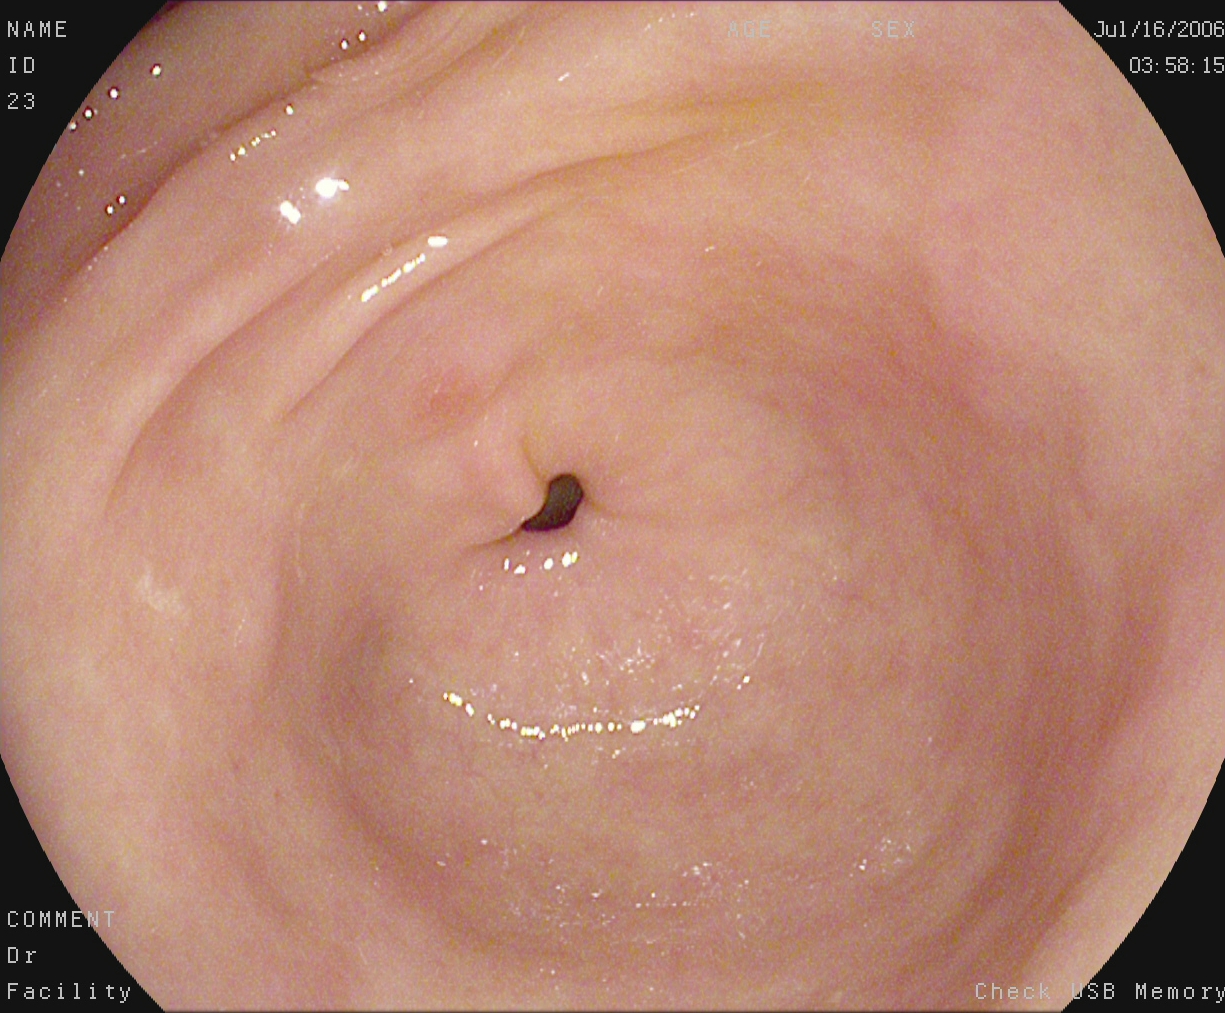Endoscopic frame of the upper GI tract showing pylorus.